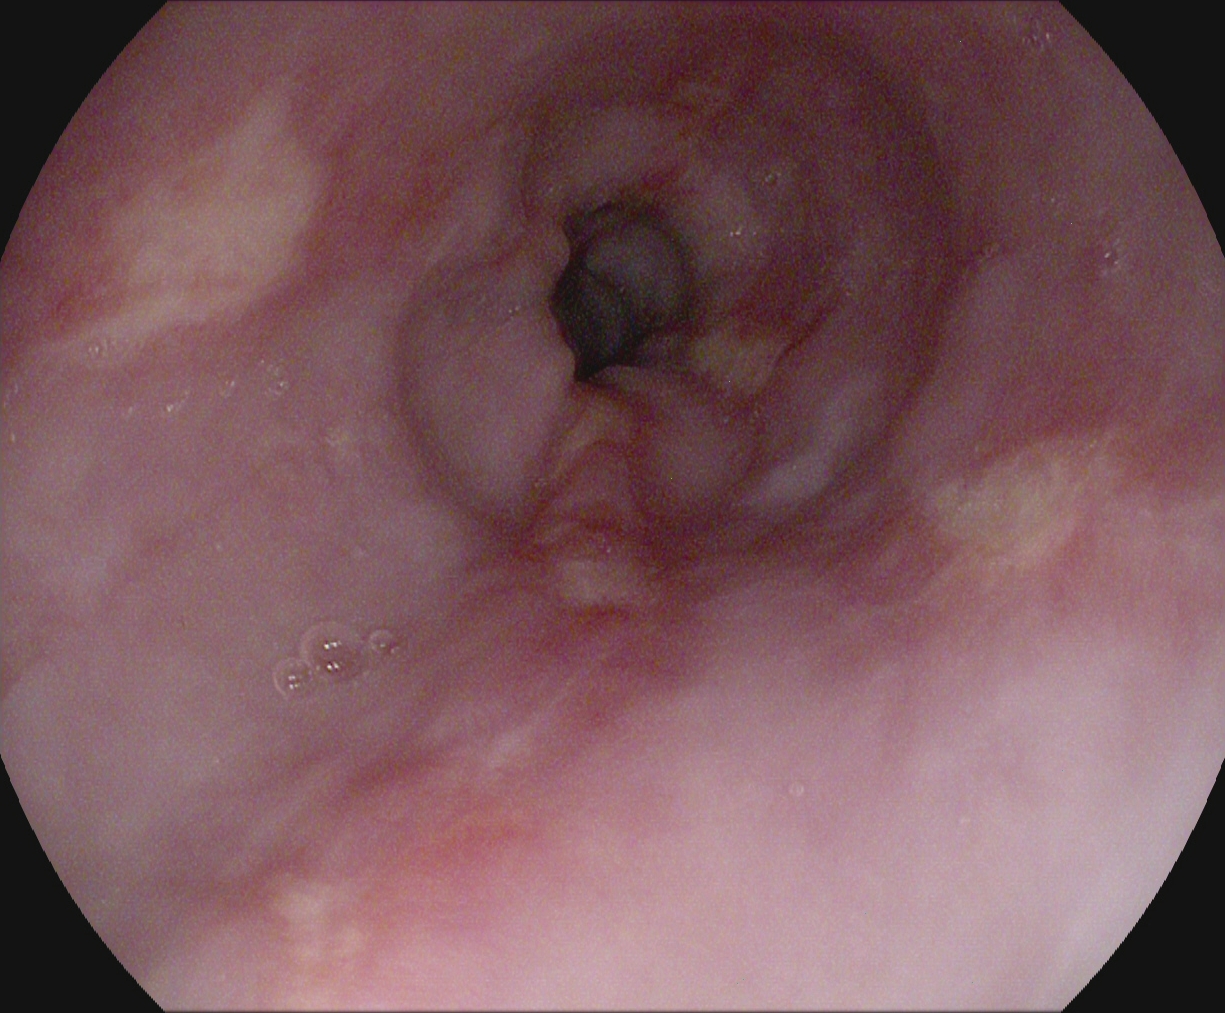Esophagogastroduodenoscopy. Finding: reflux esophagitis, Los Angeles grade B–D.